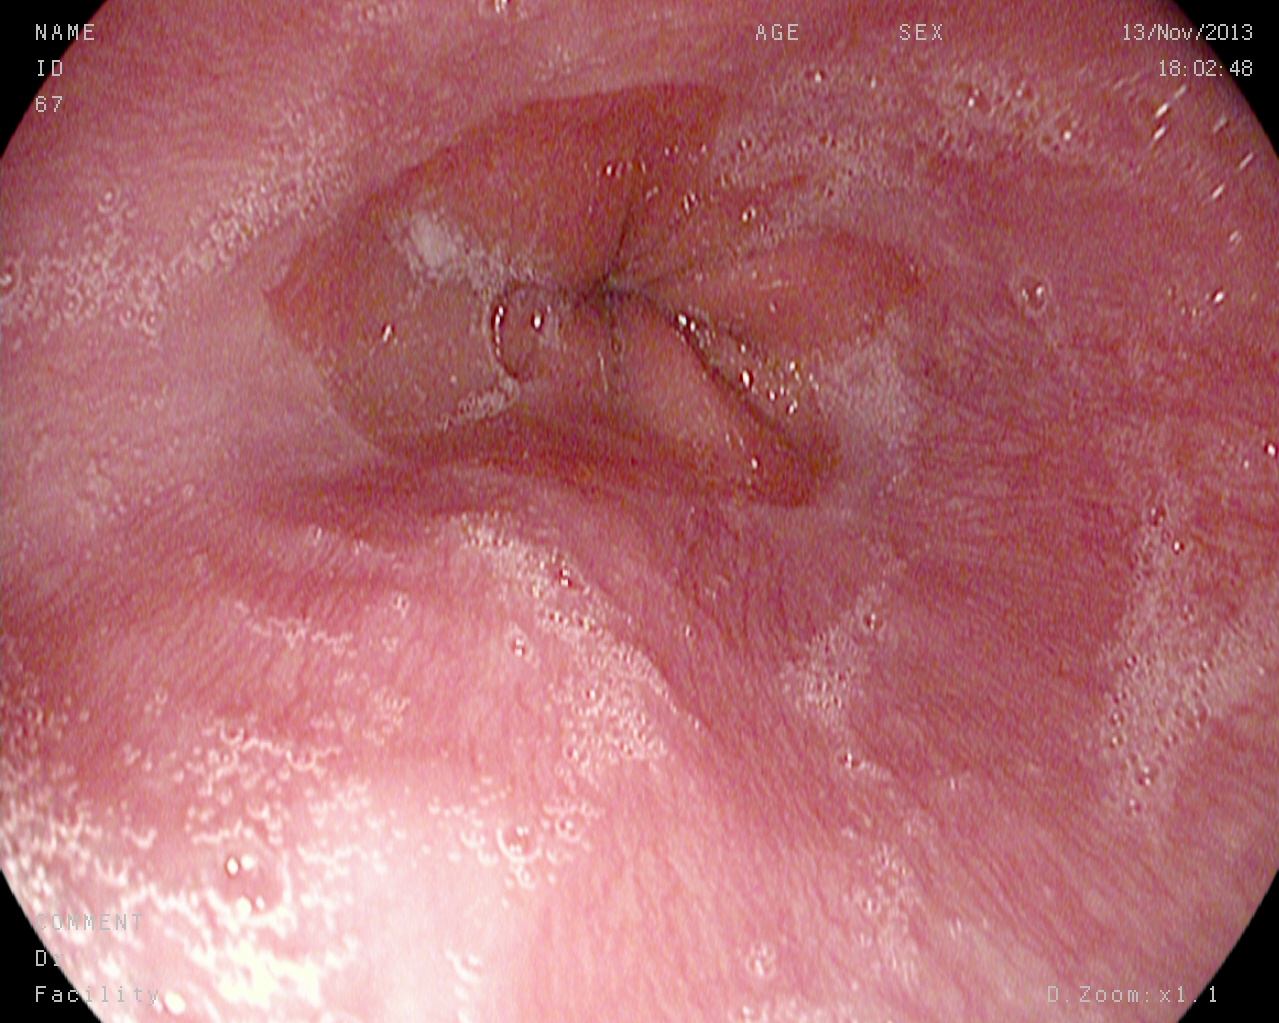Reflux esophagitis, LA grade A.